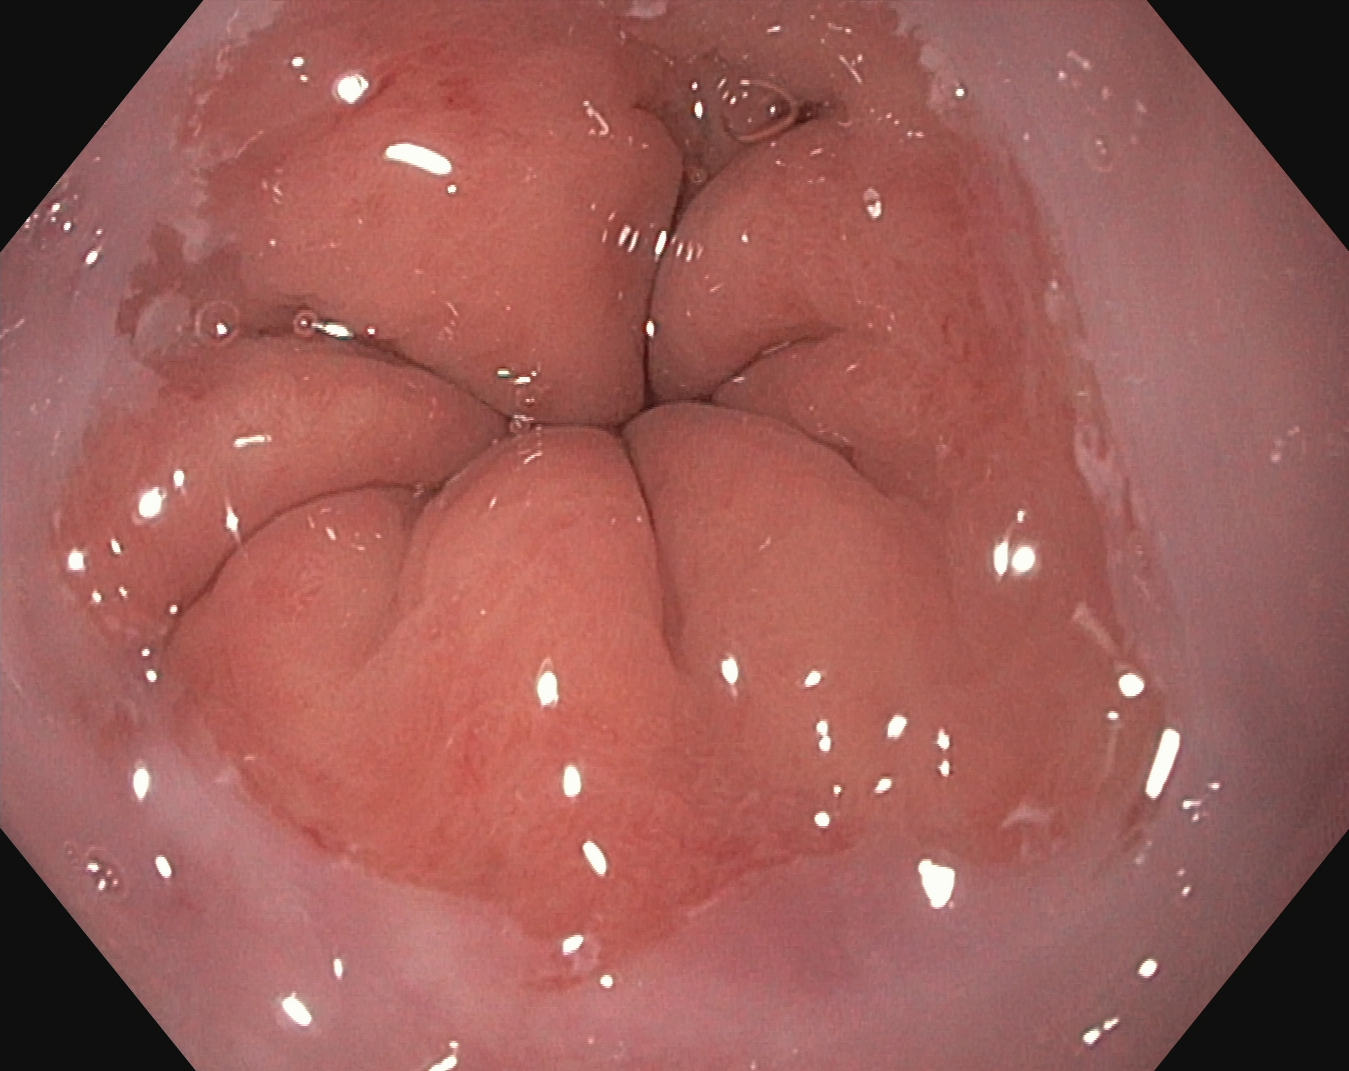{"modality": "upper-GI endoscopy", "tract": "upper GI tract", "category": "anatomical landmark", "finding": "Z-line (gastroesophageal junction)"}